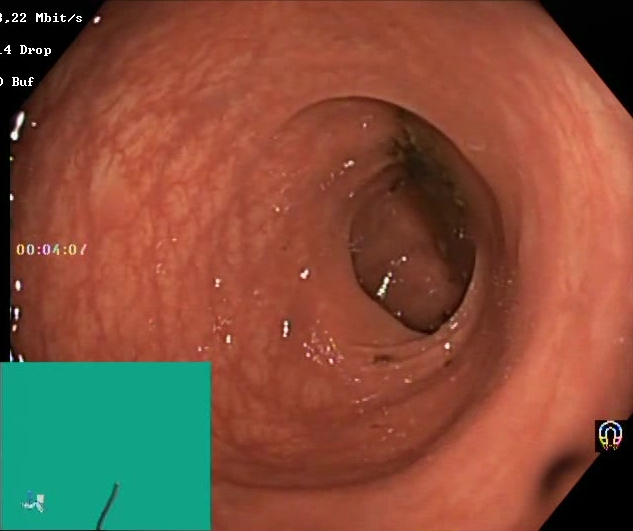modality: colonoscopy | tract: lower GI tract | category: mucosal-view quality | finding: BBPS score 0–1 (inadequate preparation)